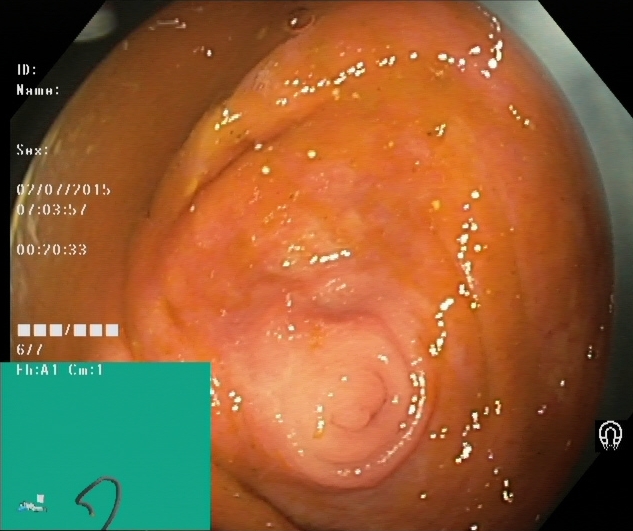cecum.